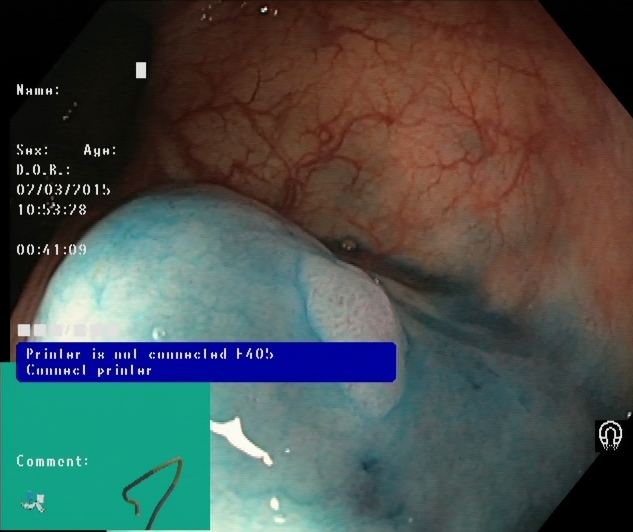modality: lower gastrointestinal endoscopy | tract: lower GI tract | finding: dyed and lifted polyp (pre-resection)